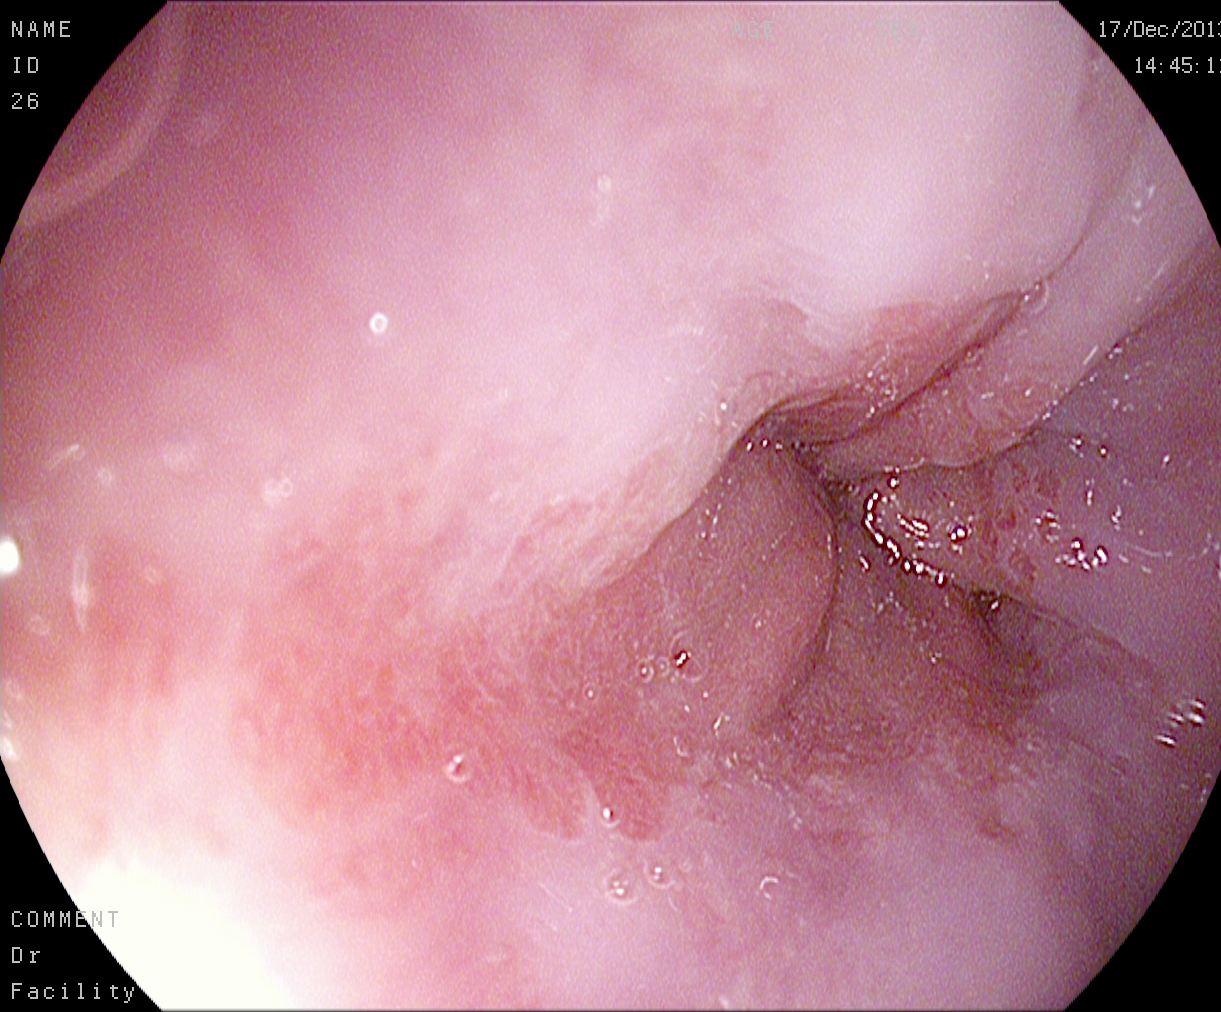Z-line (gastroesophageal junction).